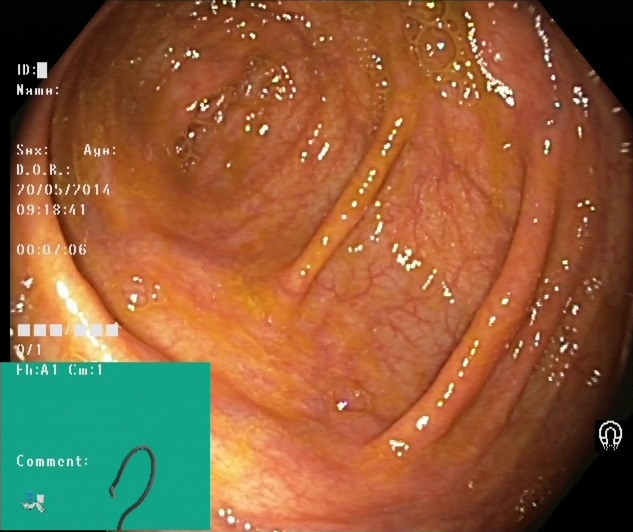modality: colonoscopy
tract: lower GI tract
category: anatomical landmark
finding: cecum